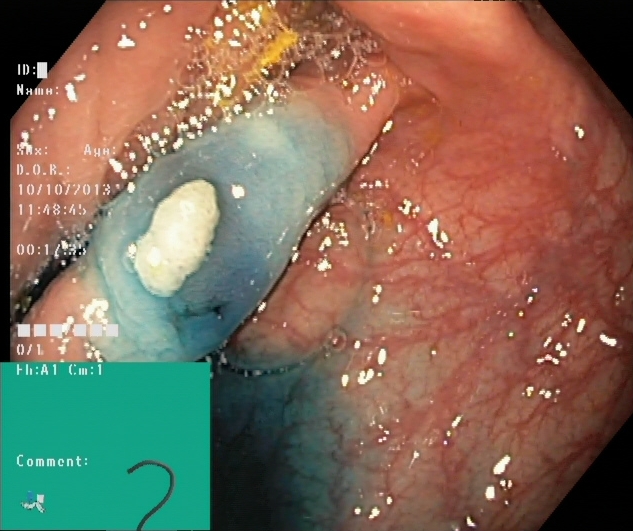{"modality": "lower gastrointestinal endoscopy", "finding": "dyed and lifted polyp (pre-resection)"}